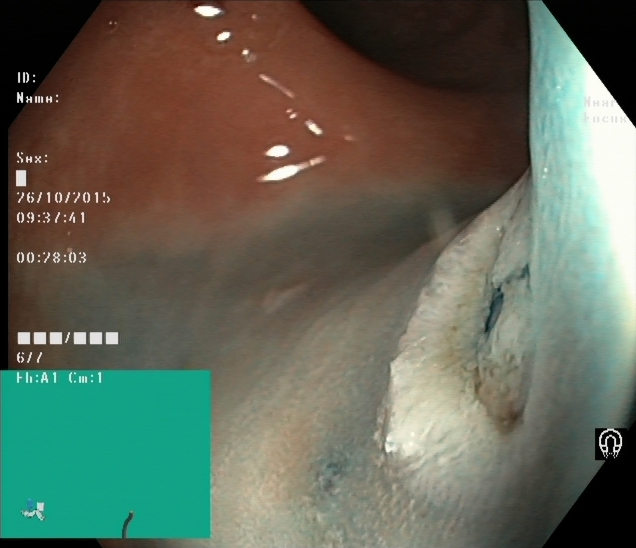PROCEDURE: Lower-GI endoscopy.
CATEGORY: Therapeutic intervention.
FINDINGS: Dyed and lifted polyp (pre-resection).